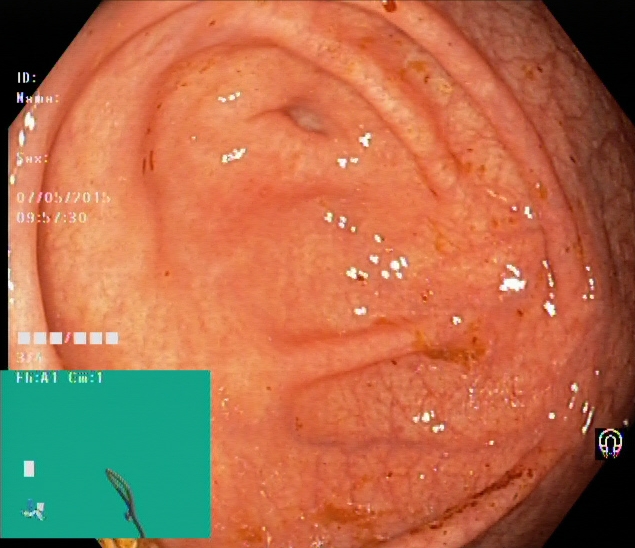Lower gastrointestinal endoscopy image of the lower GI tract showing cecum.